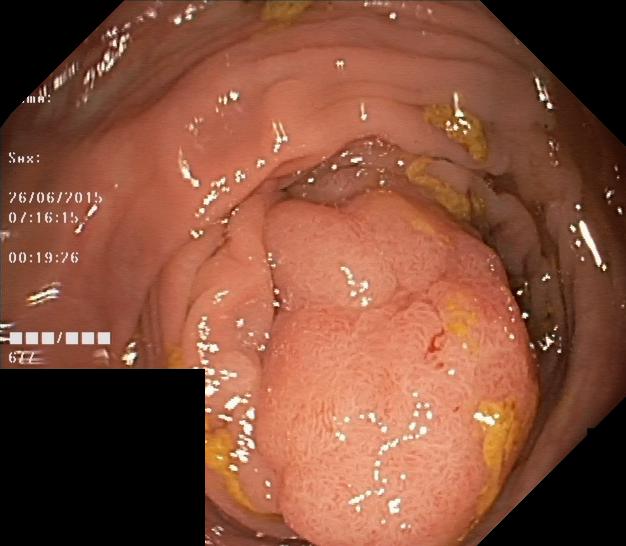PROCEDURE: Lower-GI endoscopy.
FINDINGS: Colorectal polyp(s).